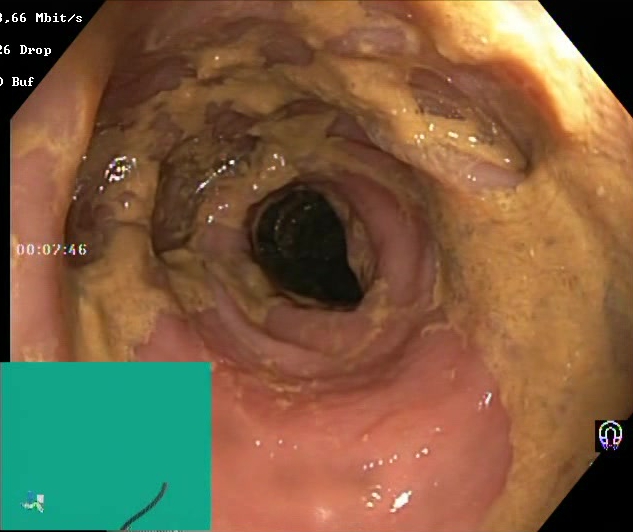Colonoscopy image of the lower GI tract showing Boston Bowel Preparation Scale score 0–1 (inadequate preparation).